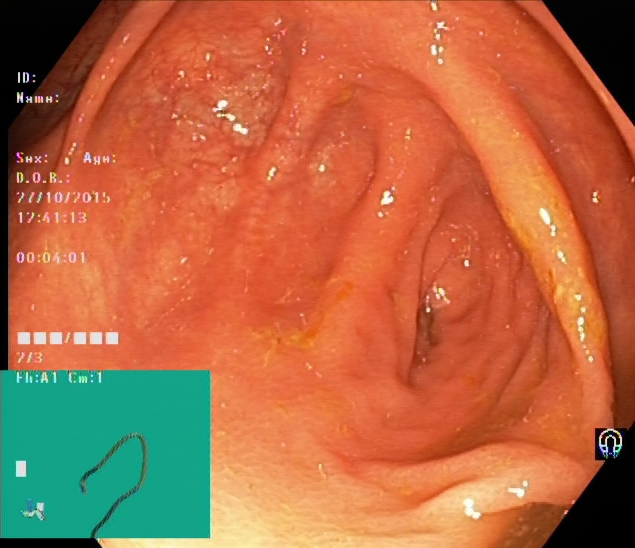Colonoscopy — cecum.